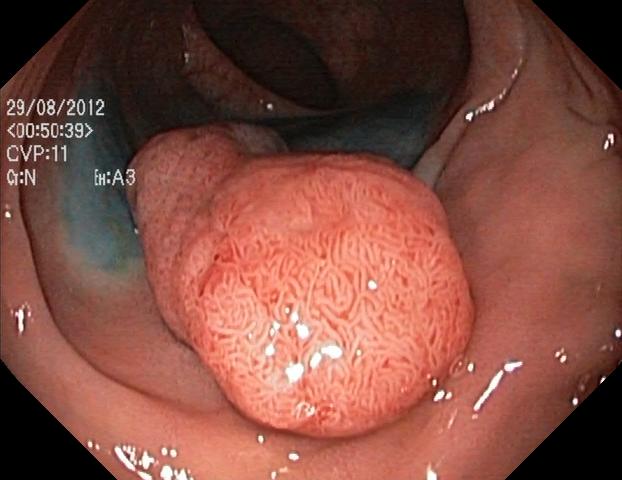Colorectal polyp(s).